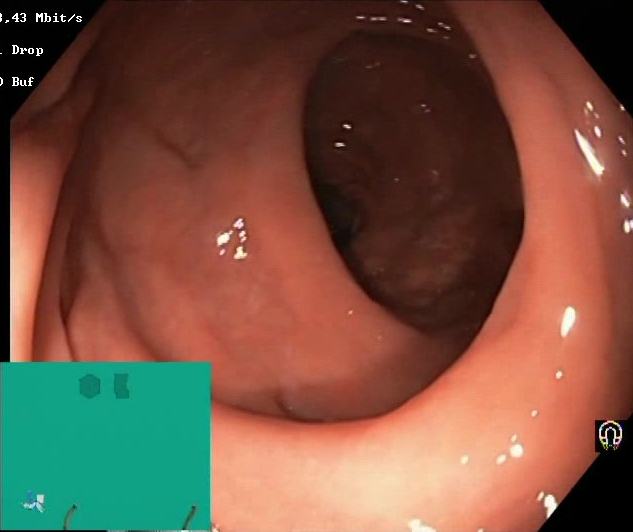This endoscopy frame of the lower GI tract shows Boston Bowel Preparation Scale score 2–3 (adequate preparation).